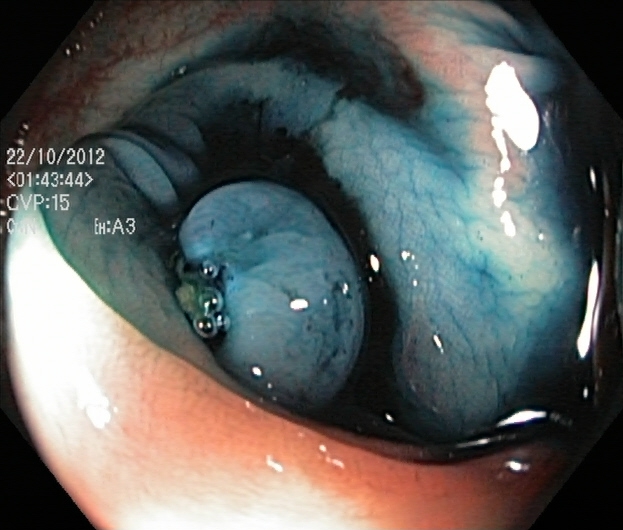{"modality": "lower gastrointestinal endoscopy", "tract": "lower GI tract", "finding": "dyed and lifted polyp (pre-resection)"}